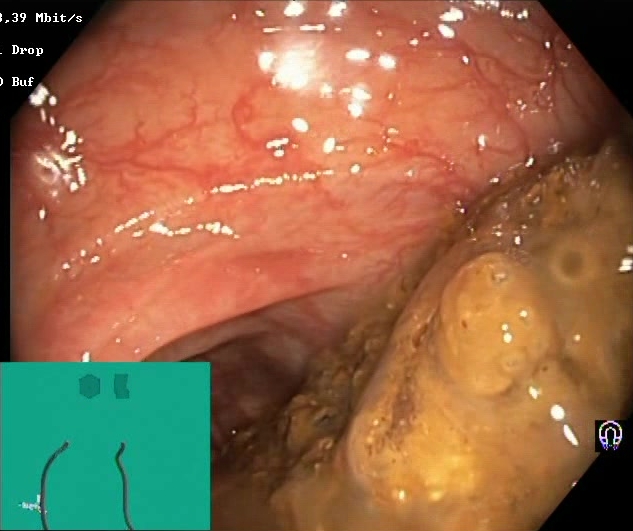PROCEDURE: Lower gastrointestinal endoscopy.
CATEGORY: Mucosal-view quality.
FINDINGS: Boston Bowel Preparation Scale score 0–1 (inadequate preparation).